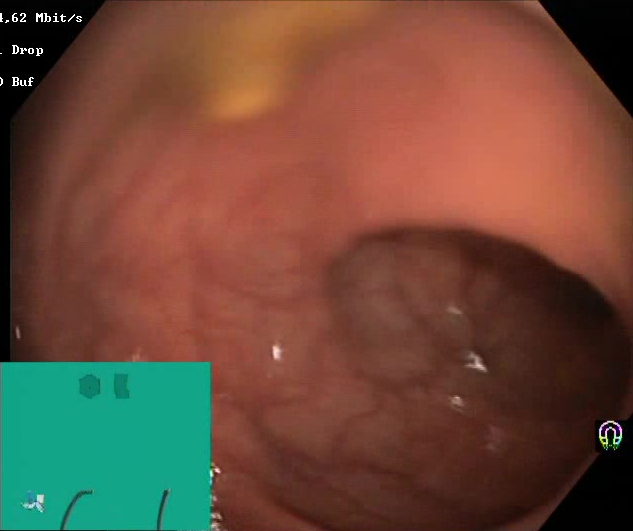PROCEDURE: Lower gastrointestinal endoscopy.
FINDINGS: Boston Bowel Preparation Scale score 2–3 (adequate preparation).